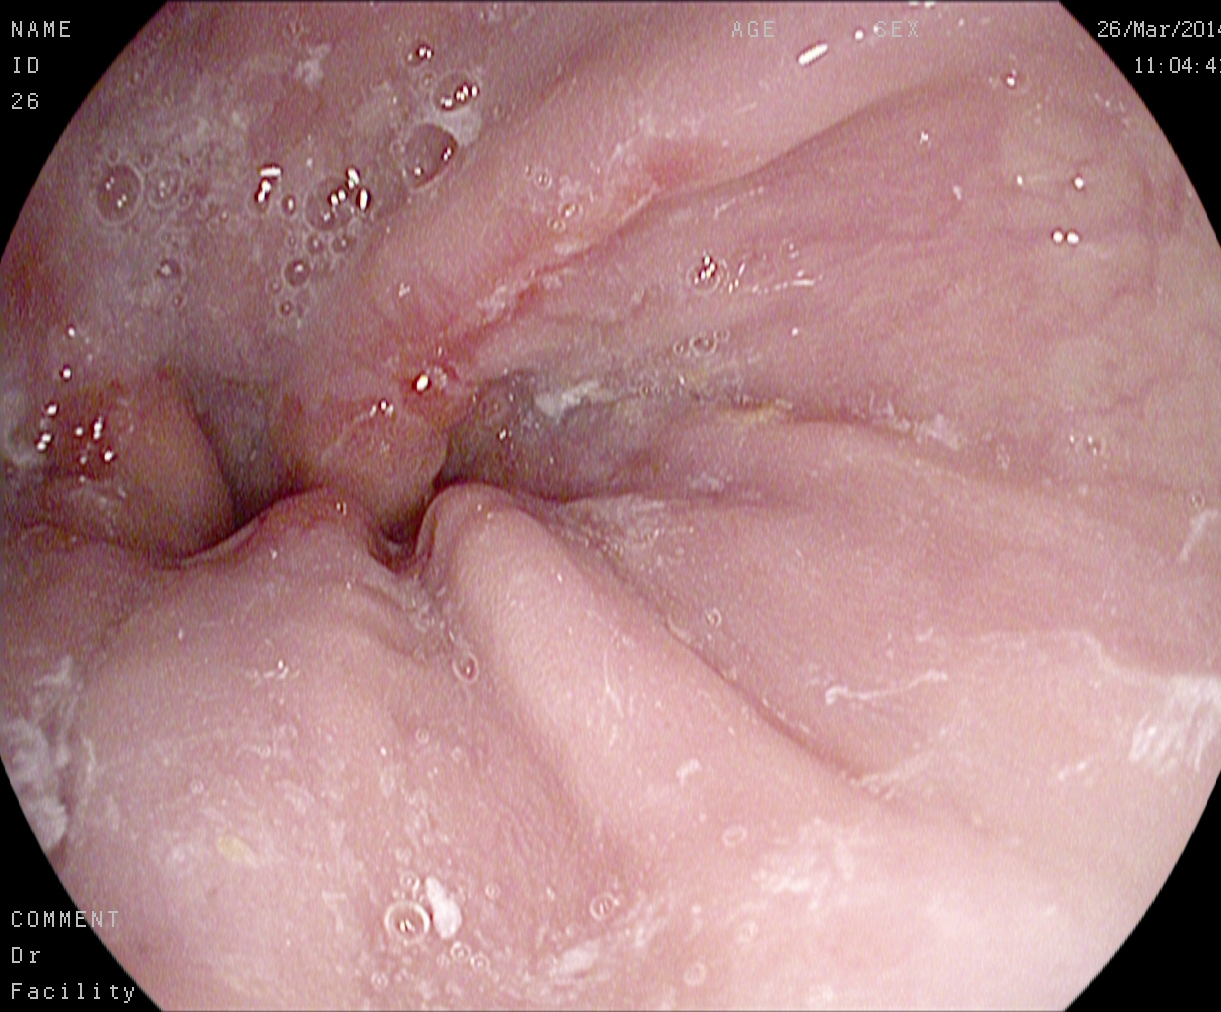modality: upper-GI endoscopy
category: pathological finding
finding: reflux esophagitis, Los Angeles grade A